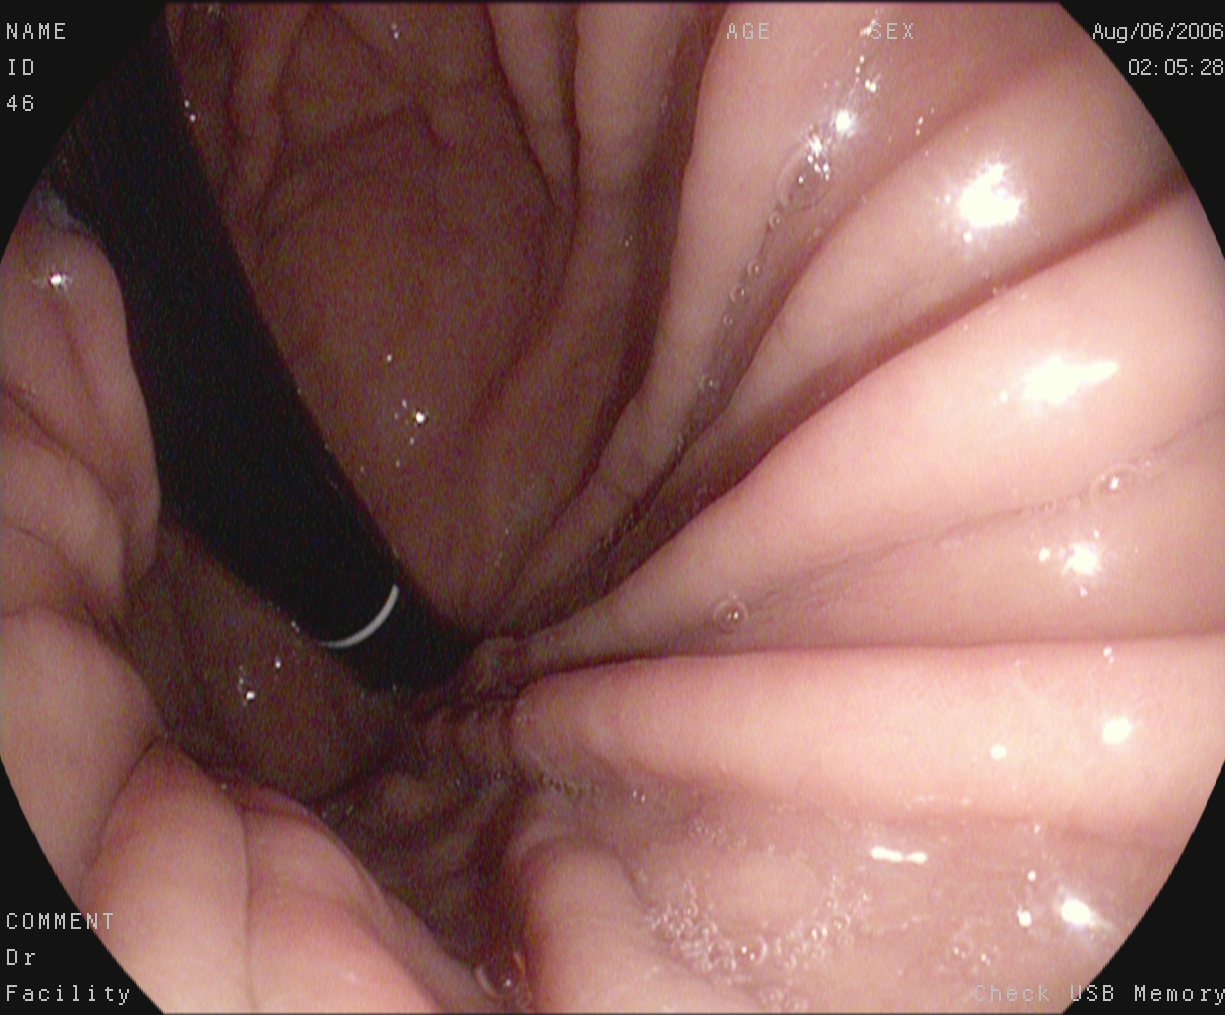Gastroscopy. Tract: upper GI tract. Anatomical landmark. Finding: stomach in retroflexion.